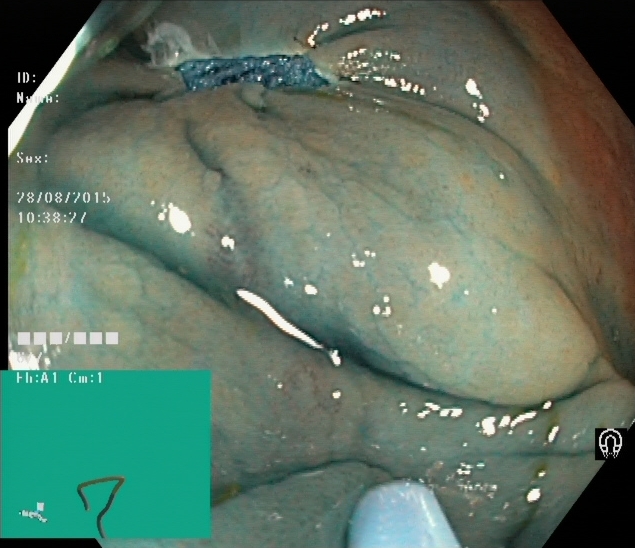PROCEDURE: Colonoscopy.
CATEGORY: Therapeutic intervention.
FINDINGS: Dyed resection margins (post-polypectomy).